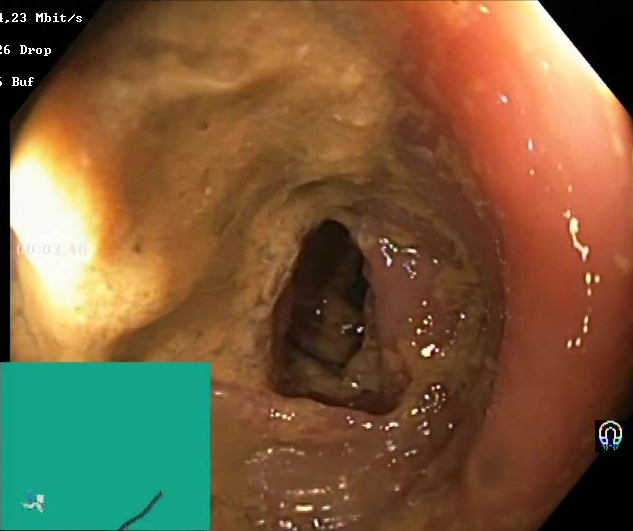This endoscopy frame shows BBPS score 0–1 (inadequate preparation).